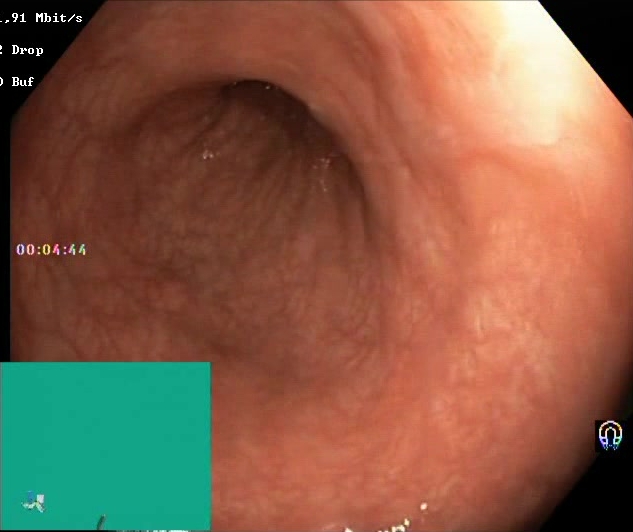modality: lower gastrointestinal endoscopy; tract: lower GI tract; finding: Boston Bowel Preparation Scale score 2–3 (adequate preparation)